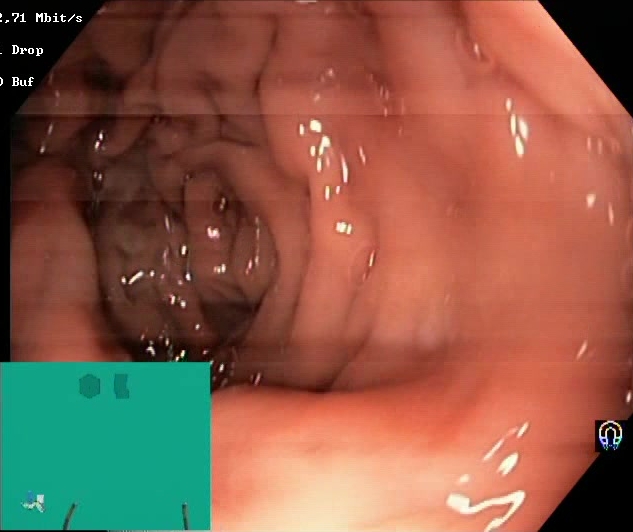{"modality": "lower-GI endoscopy", "finding": "Boston Bowel Preparation Scale score 2\u20133 (adequate preparation)"}